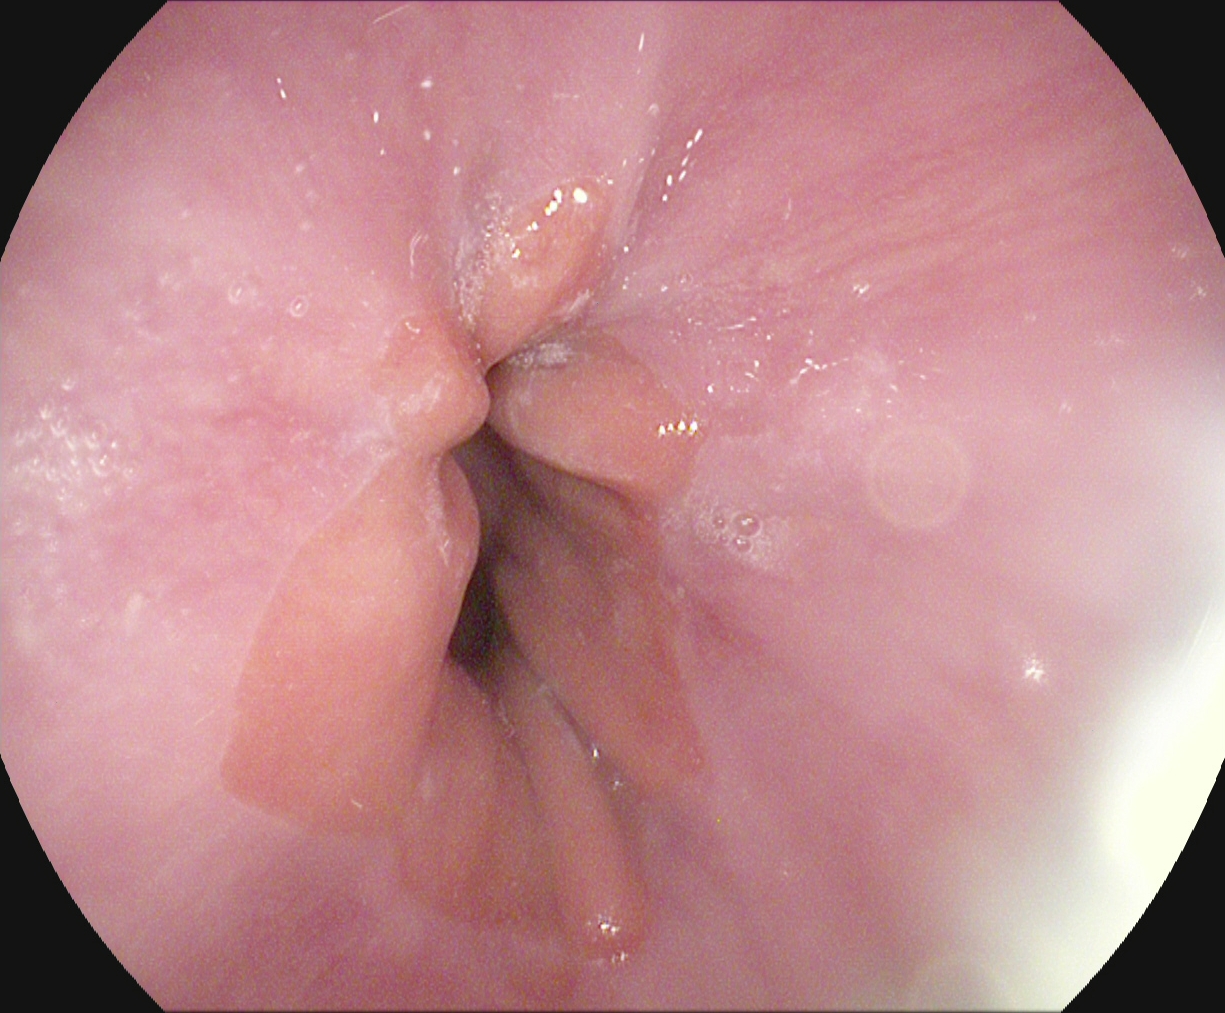Gastroscopy. Finding: Z-line (gastroesophageal junction).